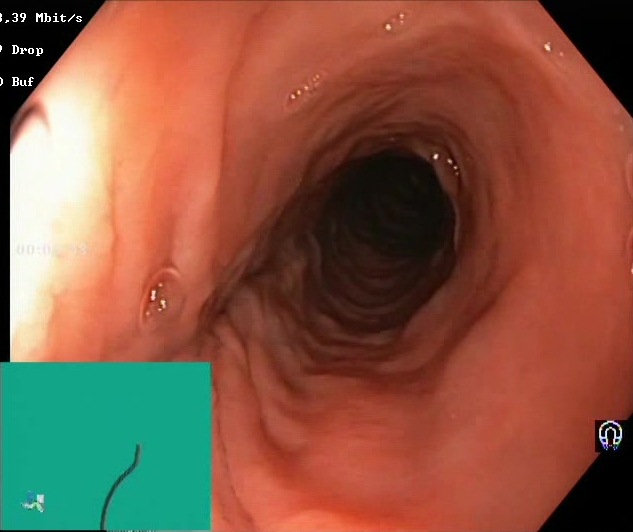PROCEDURE: Lower-GI endoscopy.
CATEGORY: Mucosal-view quality.
FINDINGS: Boston Bowel Preparation Scale score 2–3 (adequate preparation).